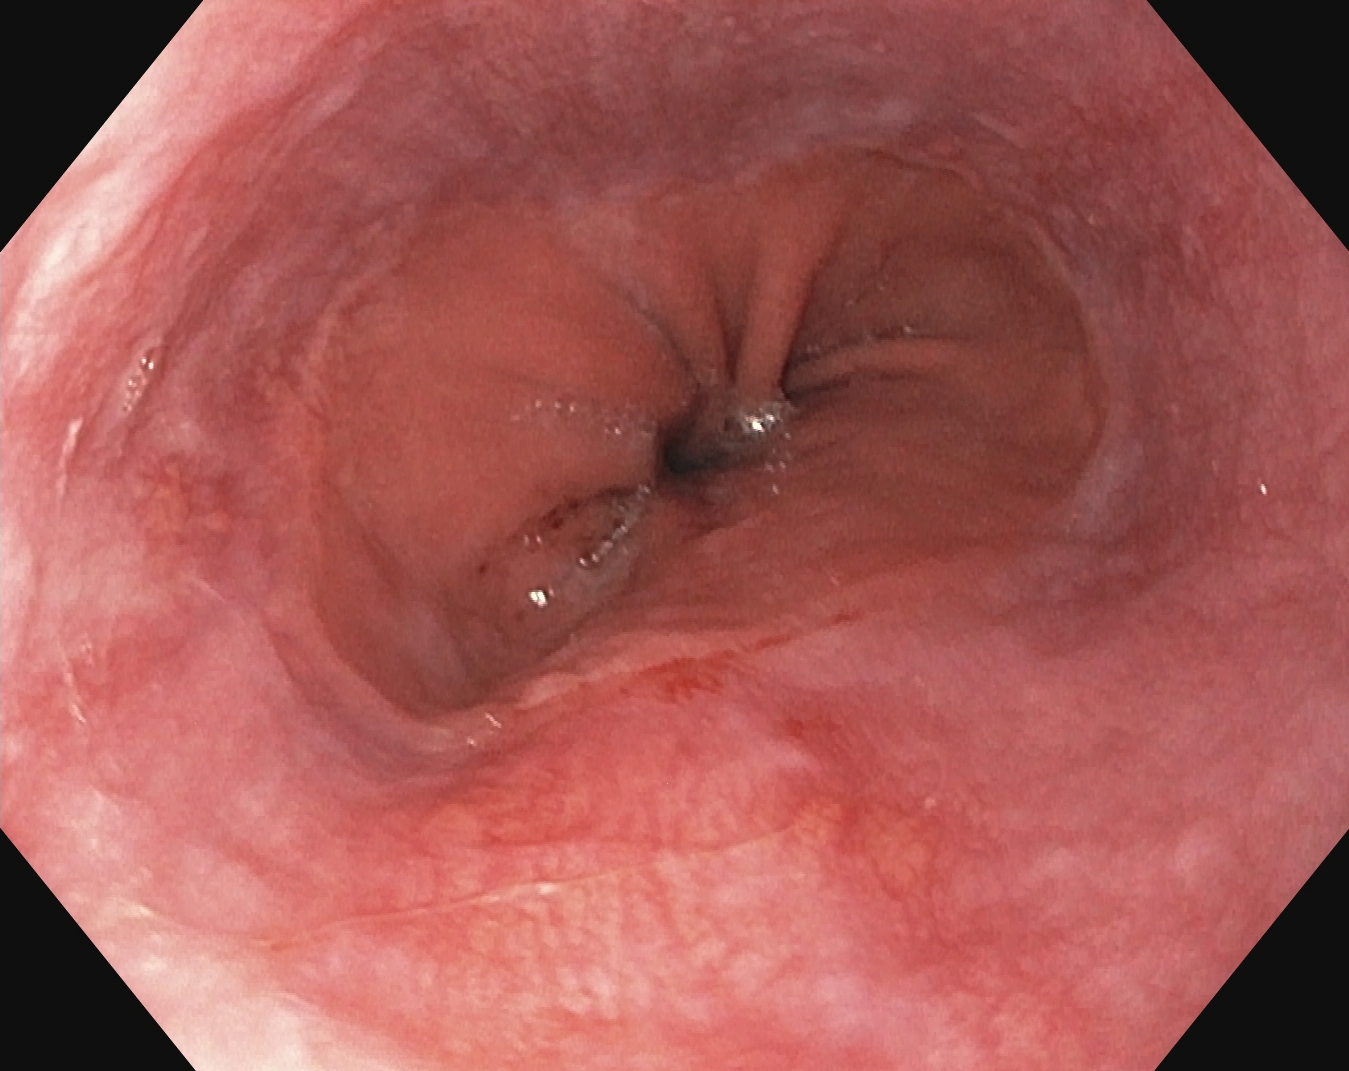Z-line (gastroesophageal junction).